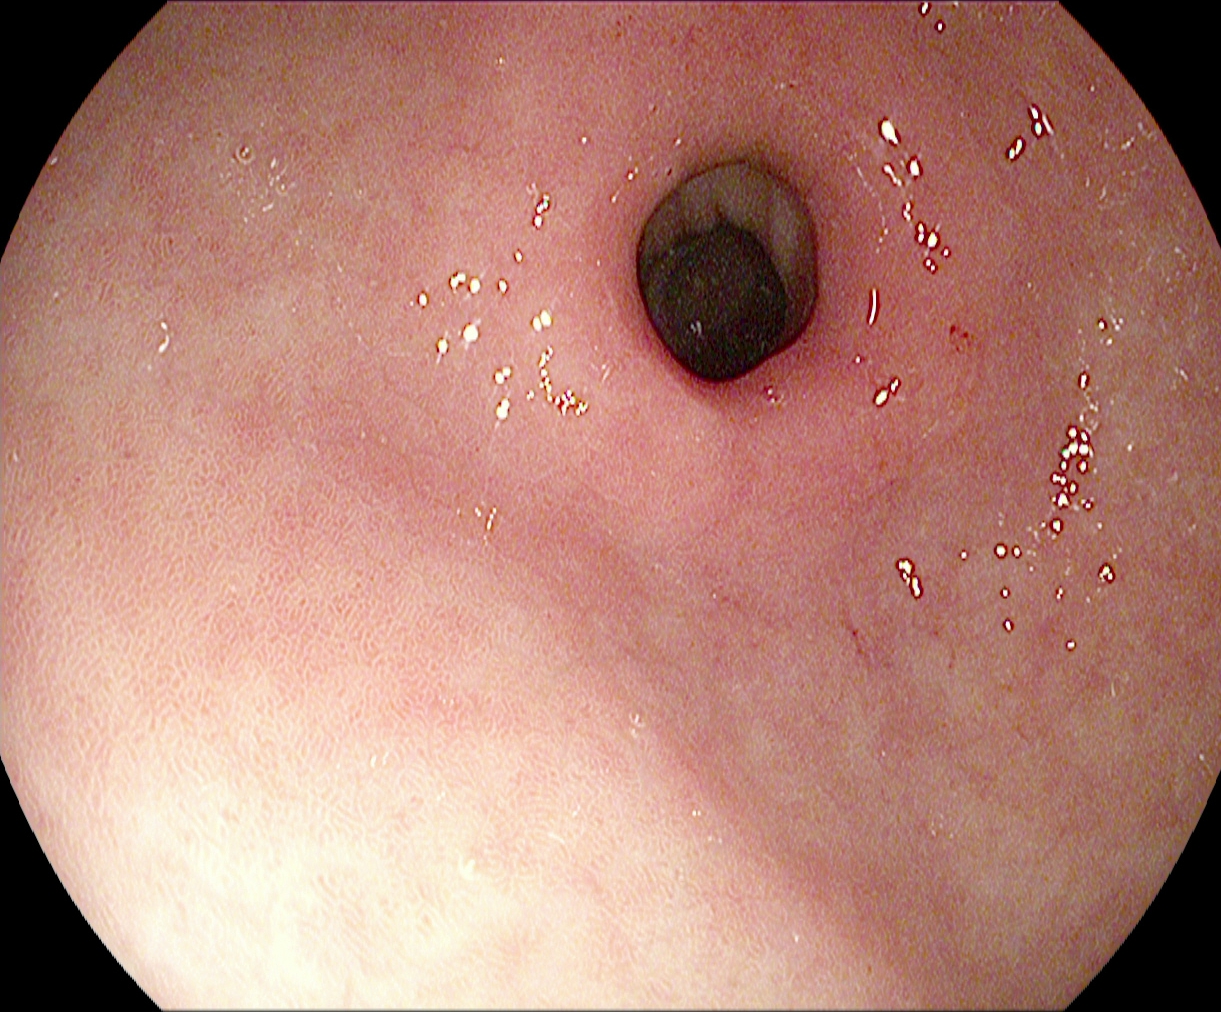modality: EGD; category: anatomical landmark; finding: pylorus